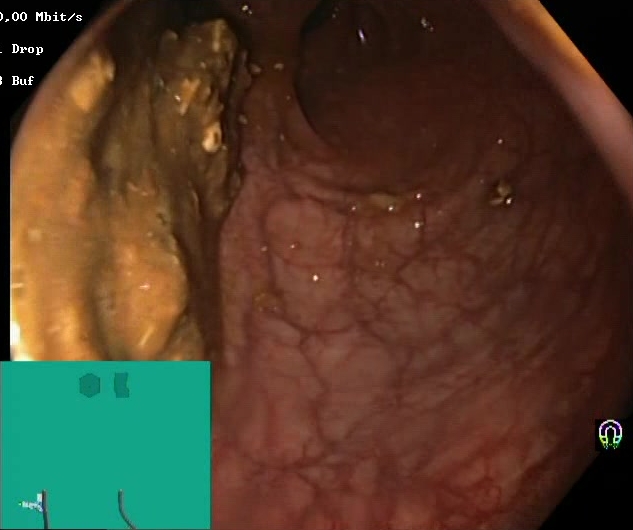Lower gastrointestinal endoscopy. Tract: lower GI tract. Finding: Boston Bowel Preparation Scale score 0–1 (inadequate preparation).